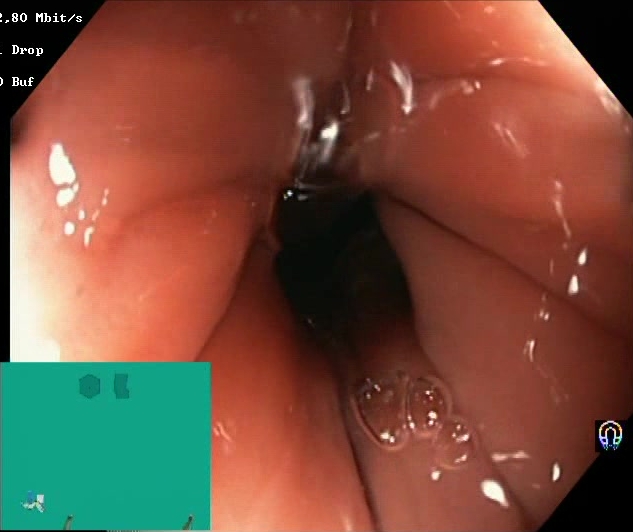modality: lower gastrointestinal endoscopy
tract: lower GI tract
category: mucosal-view quality
finding: BBPS score 2–3 (adequate preparation)